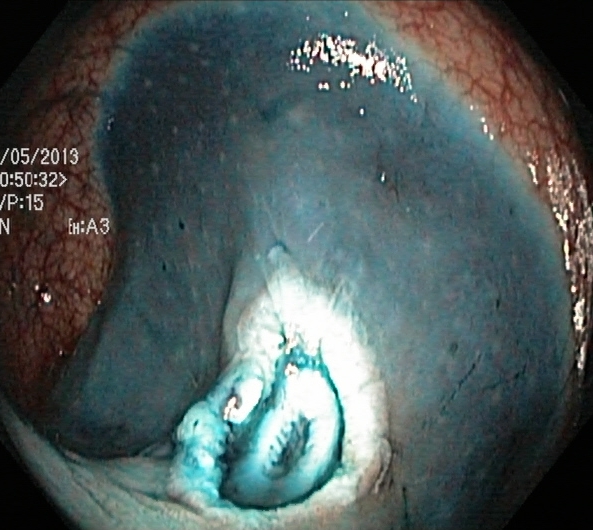This endoscopy frame shows dyed resection margins (post-polypectomy).